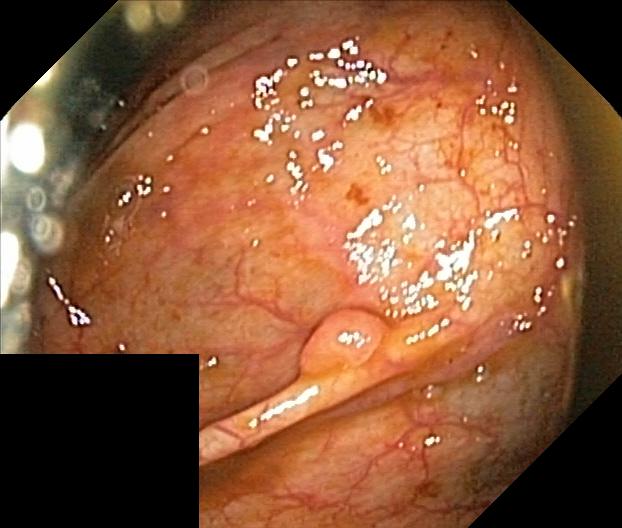PROCEDURE: Lower gastrointestinal endoscopy.
FINDINGS: Colorectal polyp(s).